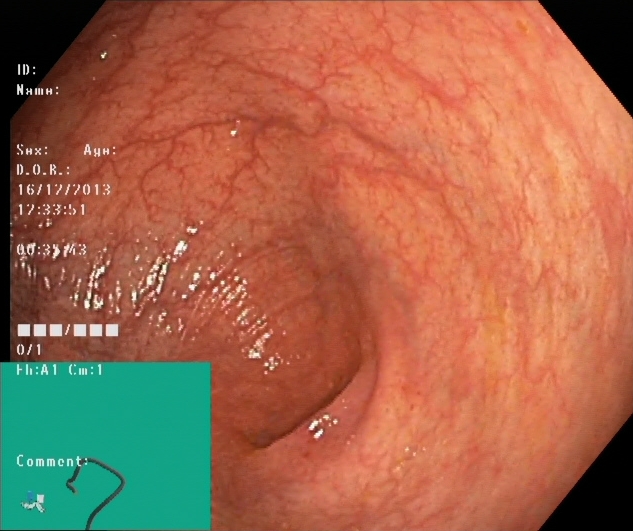Lower gastrointestinal endoscopy. Tract: lower GI tract. Anatomical landmark. Finding: cecum.